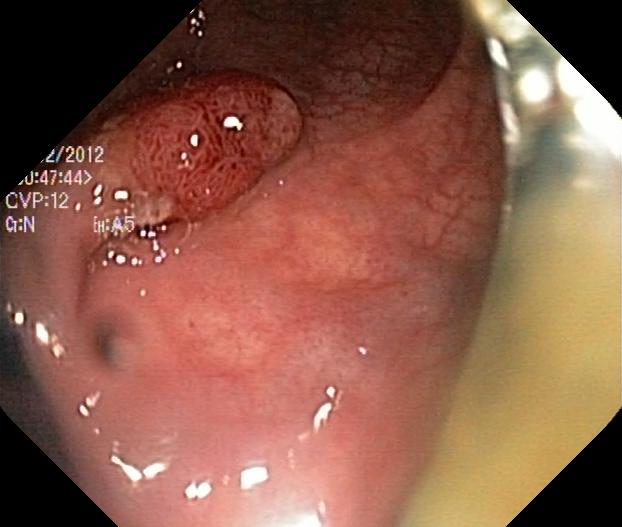Lower-GI endoscopy image of the lower GI tract showing colorectal polyp(s).